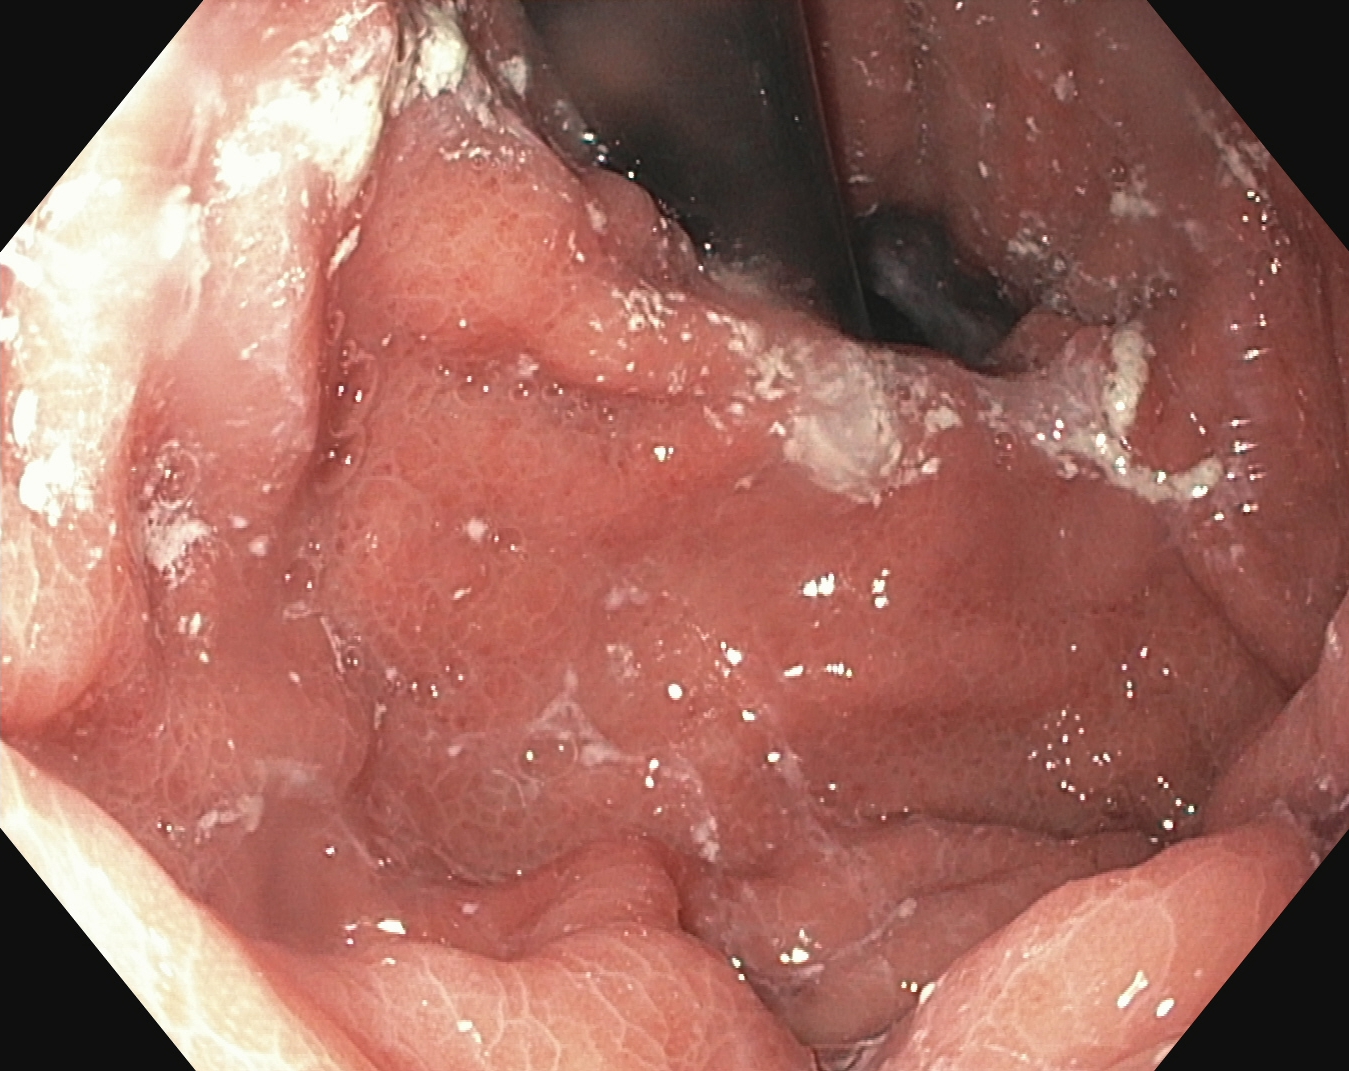Endoscopic frame showing stomach in retroflexion.